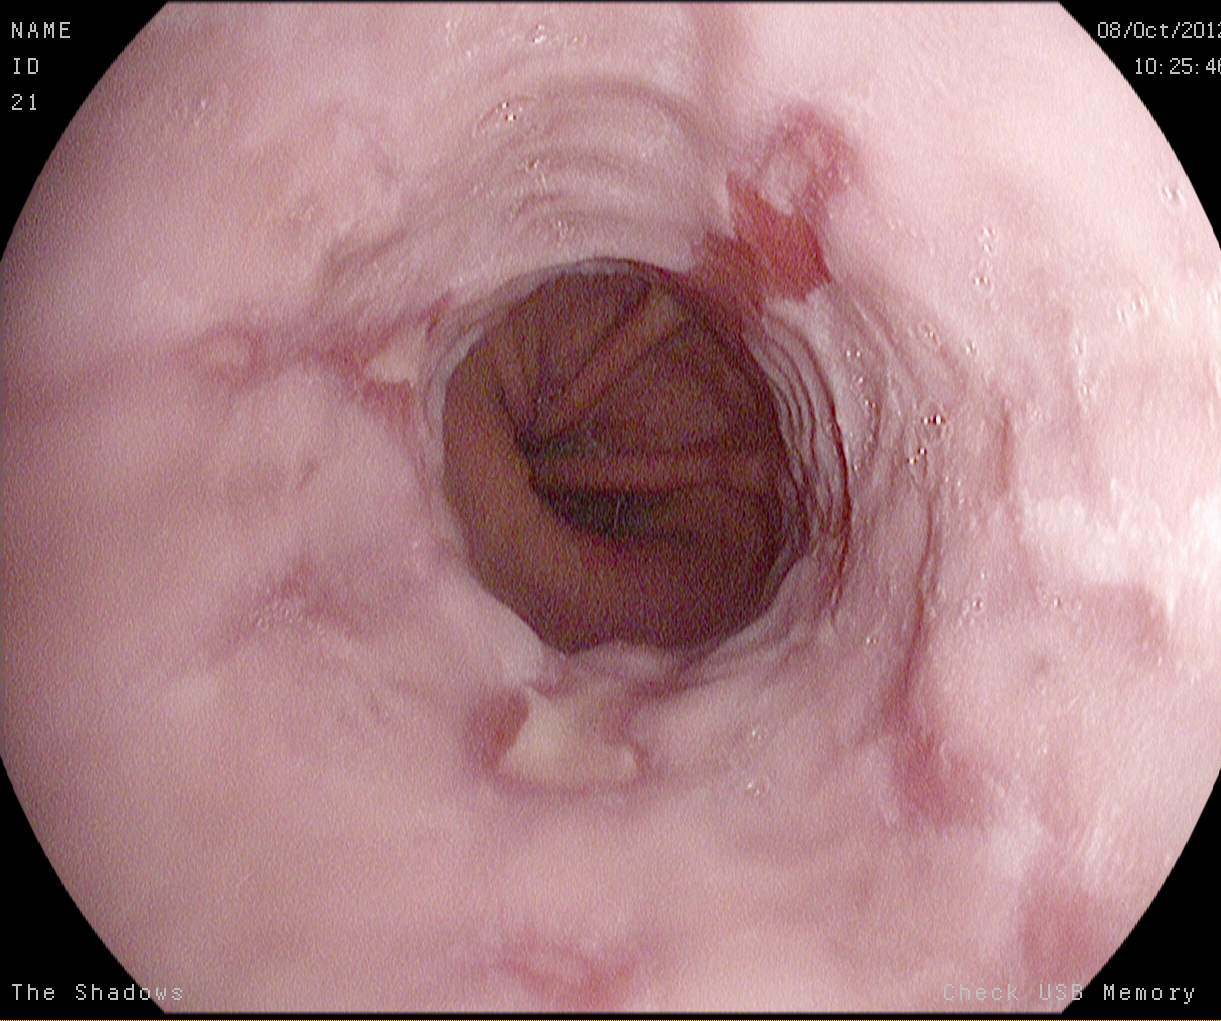Reflux esophagitis, Los Angeles grade B–D.